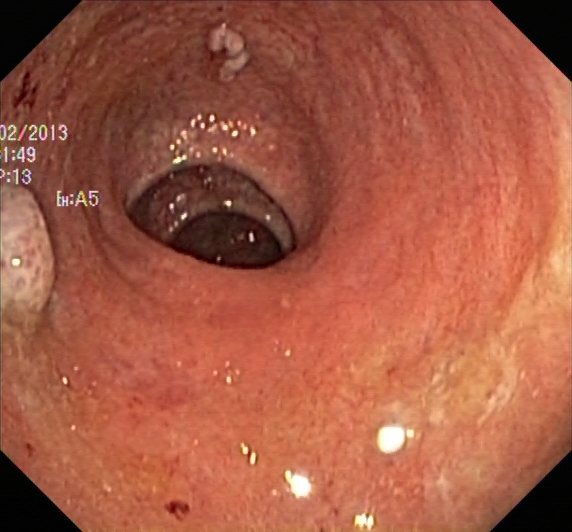{"modality": "colonoscopy", "tract": "lower GI tract", "finding": "colorectal polyp(s)"}